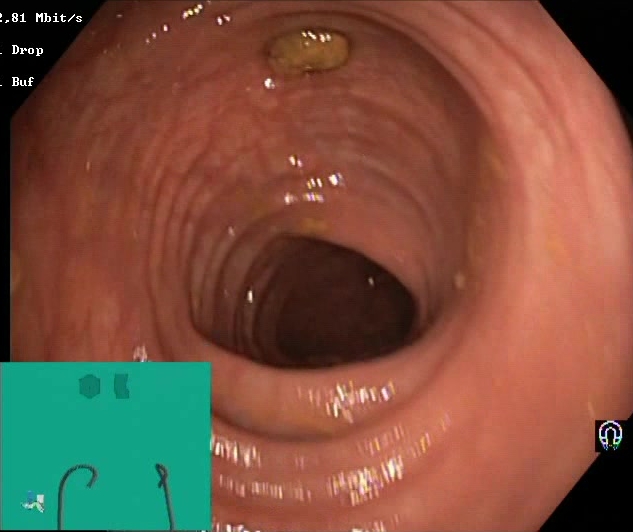{"modality": "lower gastrointestinal endoscopy", "tract": "lower GI tract", "category": "mucosal-view quality", "finding": "BBPS score 2\u20133 (adequate preparation)"}